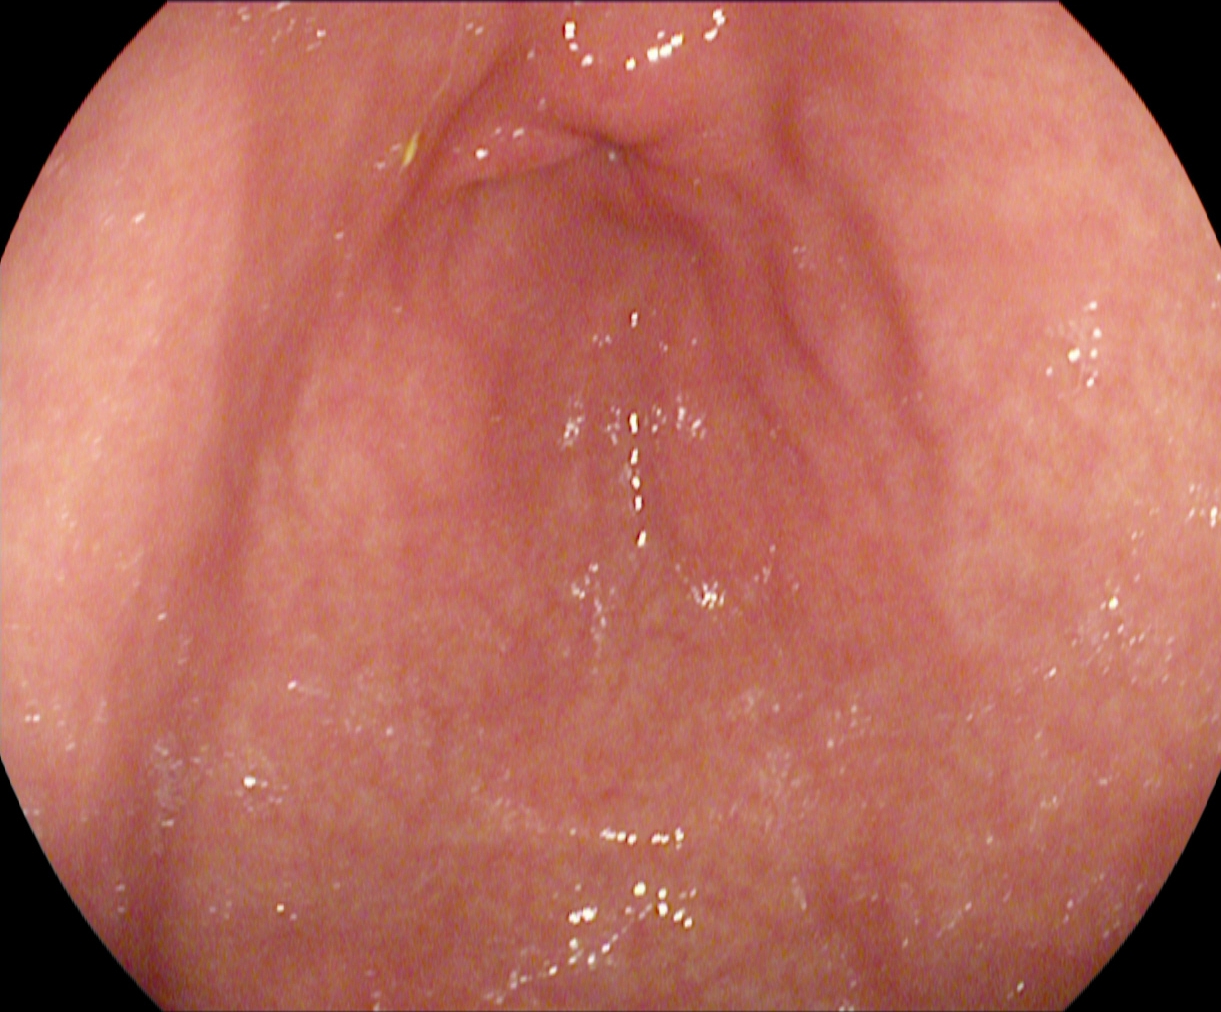EGD. Finding: pylorus.